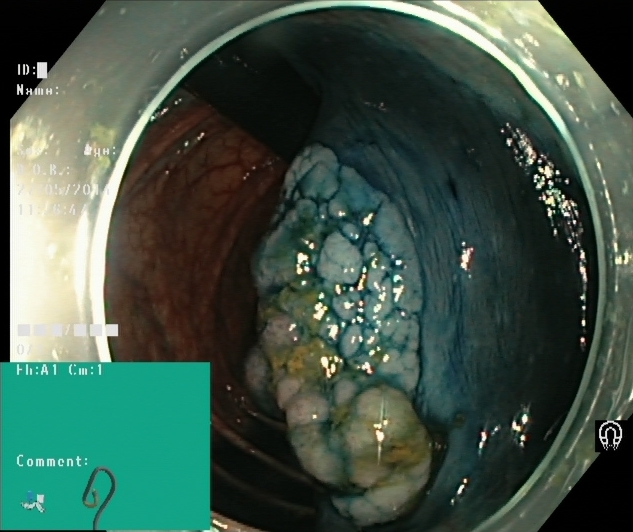modality: lower gastrointestinal endoscopy | tract: lower GI tract | finding: dyed and lifted polyp (pre-resection)